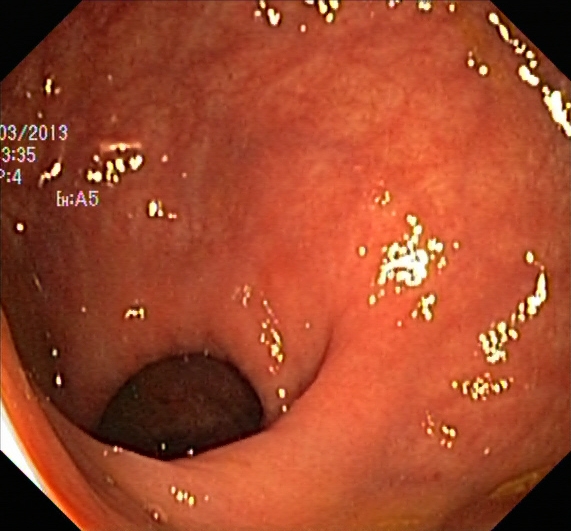Endoscopic frame showing UC, Mayo endoscopic subscore 1.